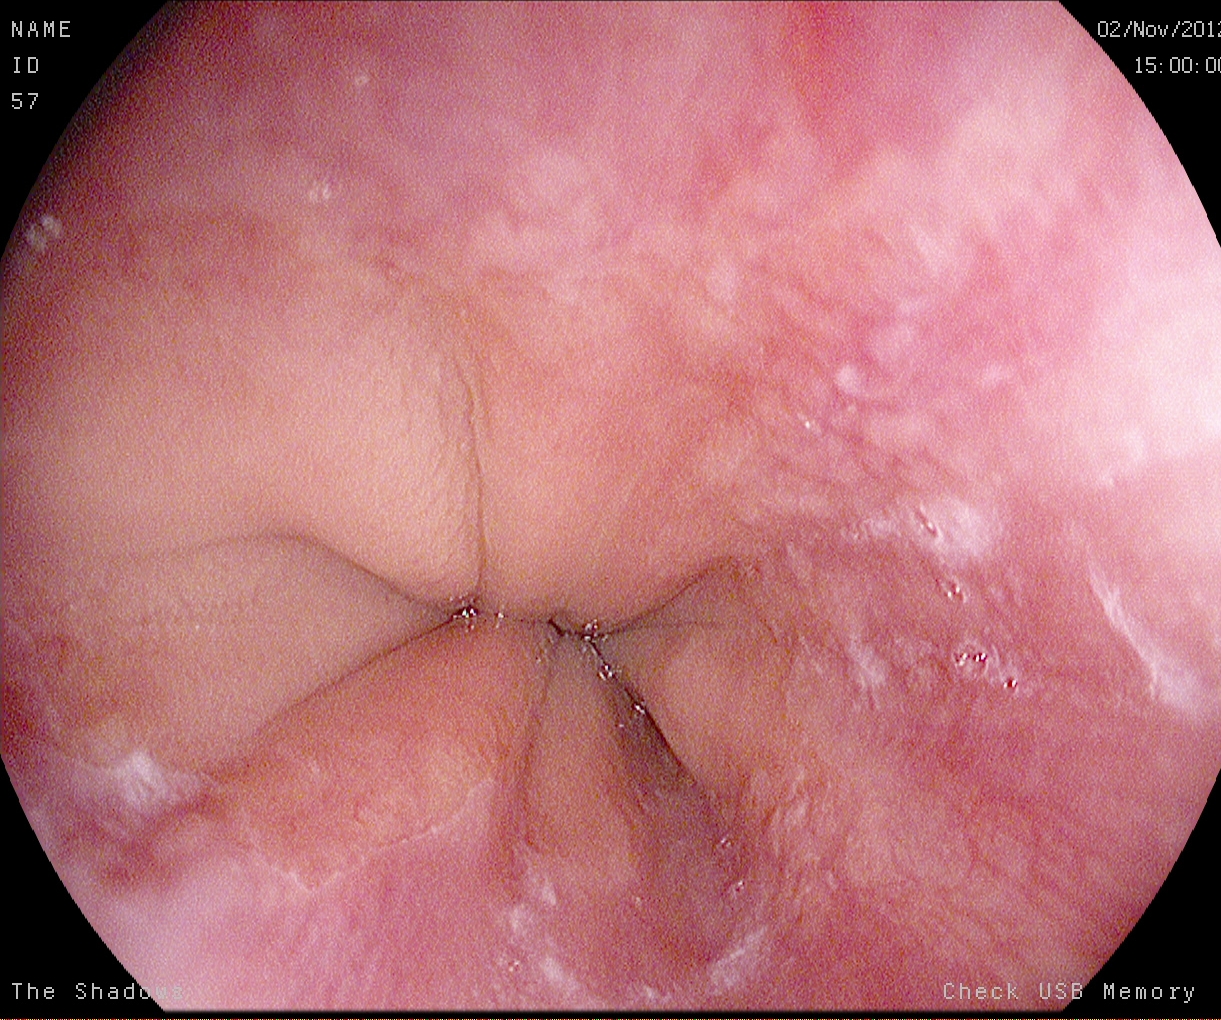GI endoscopy image showing Z-line (gastroesophageal junction).